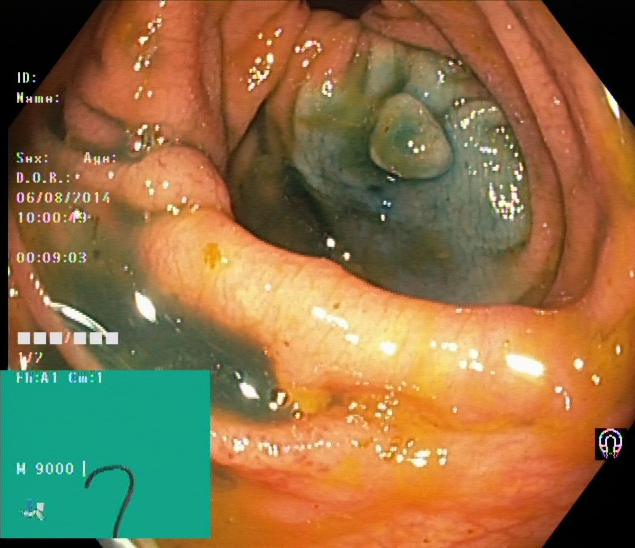GI endoscopy image of the lower GI tract showing dyed and lifted polyp (pre-resection).